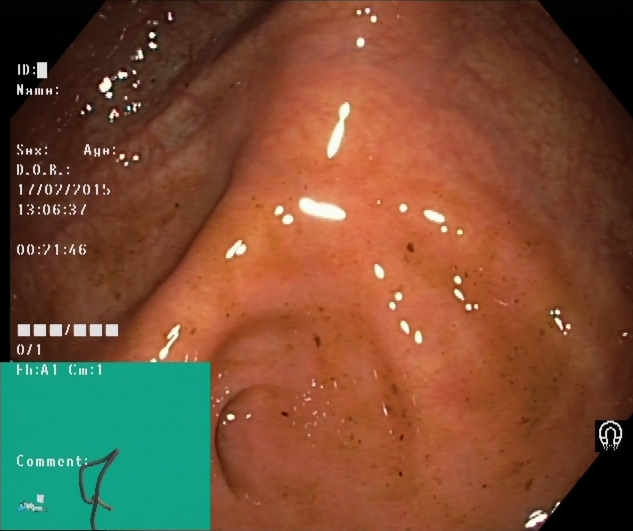Lower-GI endoscopy — cecum.